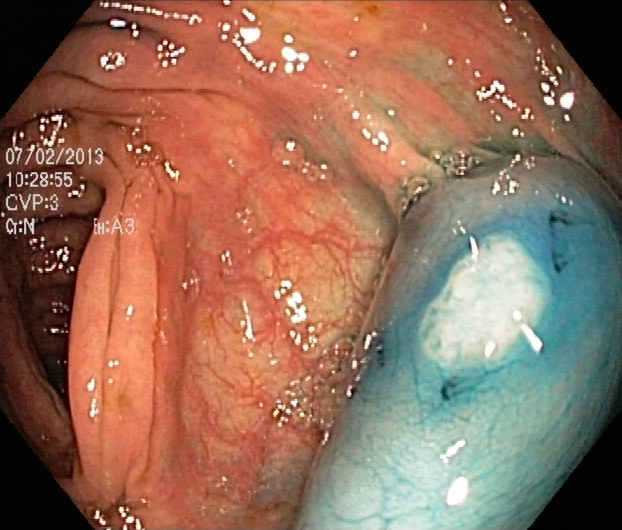modality: lower gastrointestinal endoscopy
tract: lower GI tract
category: therapeutic intervention
finding: dyed and lifted polyp (pre-resection)